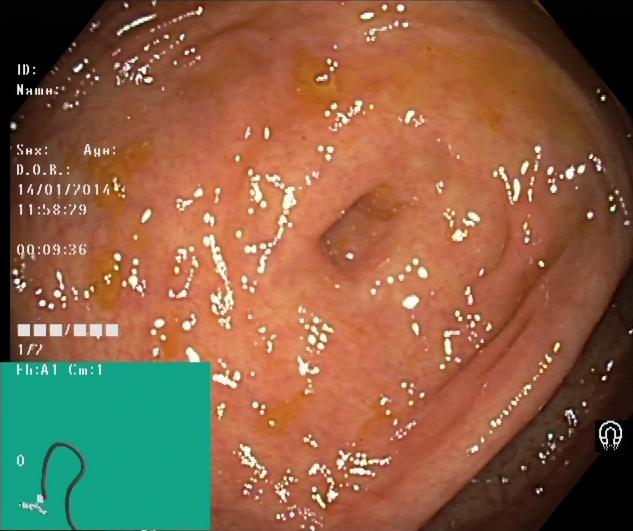cecum.